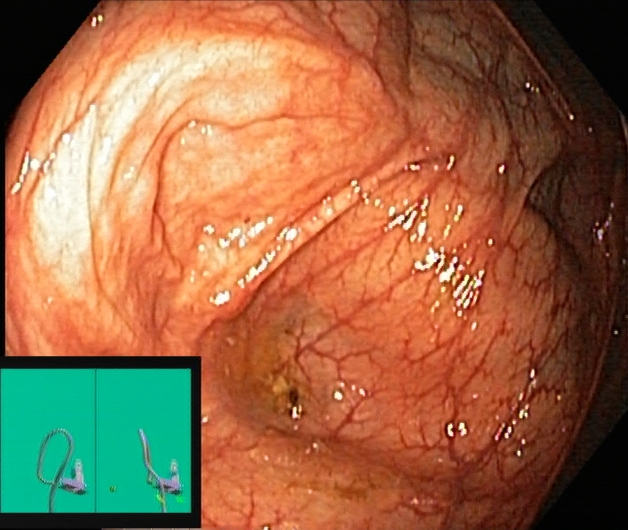{"modality": "lower-GI endoscopy", "tract": "lower GI tract", "finding": "cecum"}